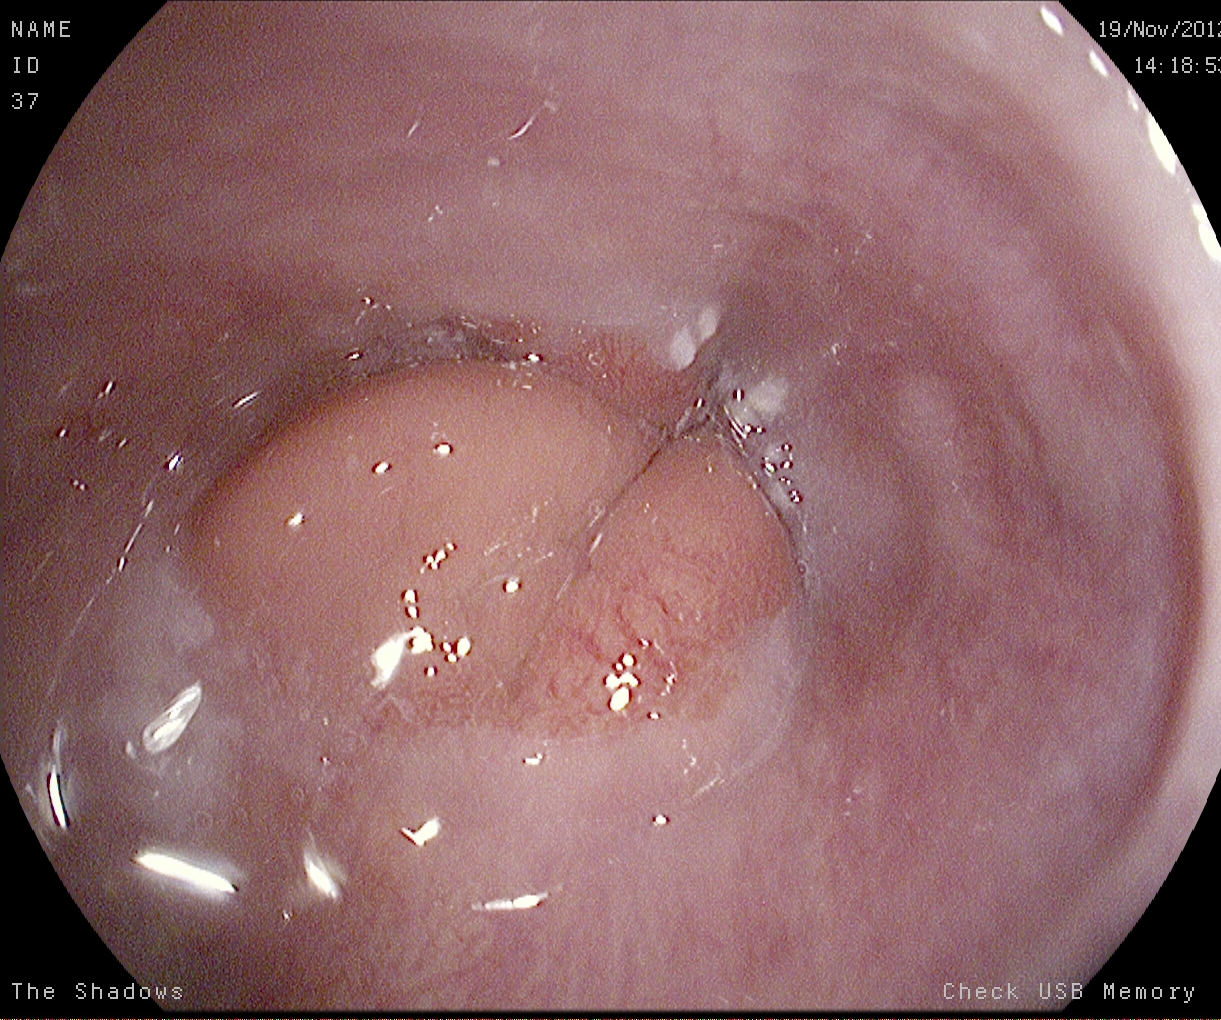This endoscopic image of the upper GI tract shows Z-line (gastroesophageal junction).